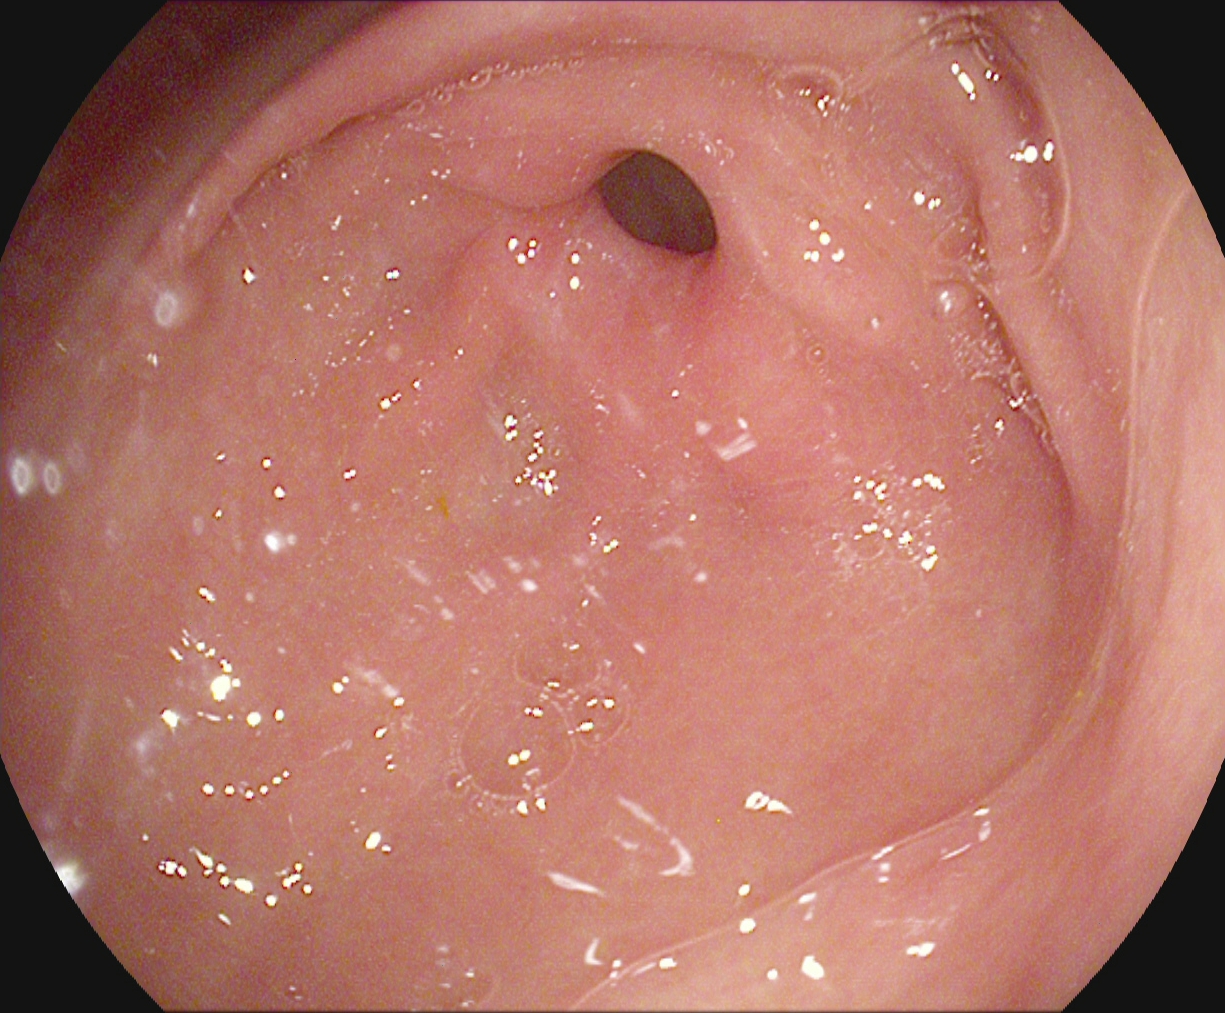modality: upper-GI endoscopy
tract: upper GI tract
finding: pylorus